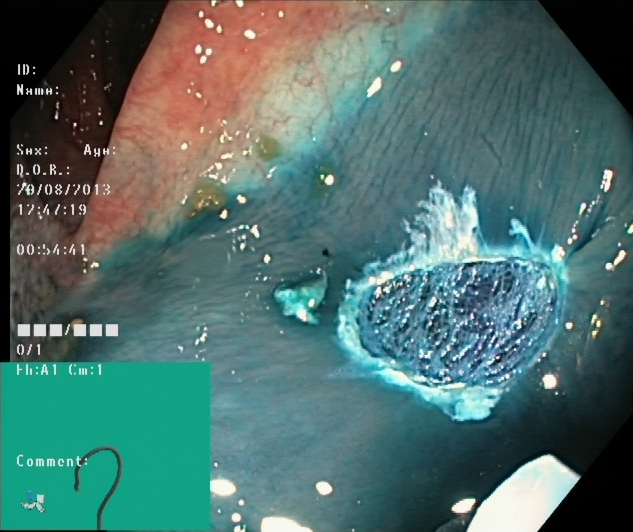modality: lower-GI endoscopy; category: therapeutic intervention; finding: dyed resection margins (post-polypectomy)